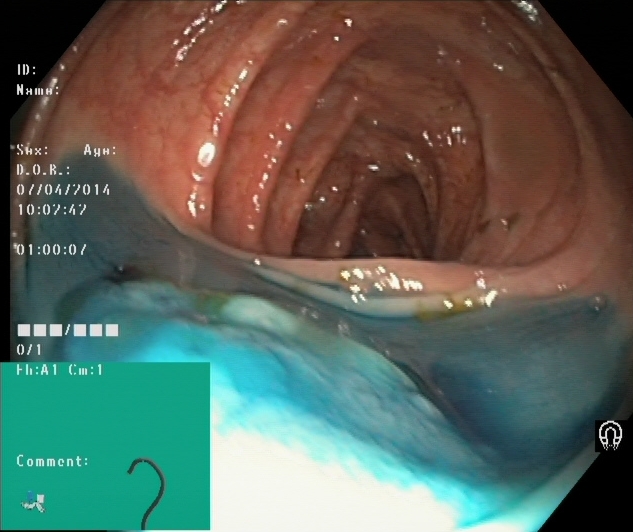Colonoscopy. Tract: lower GI tract. Finding: dyed and lifted polyp (pre-resection).